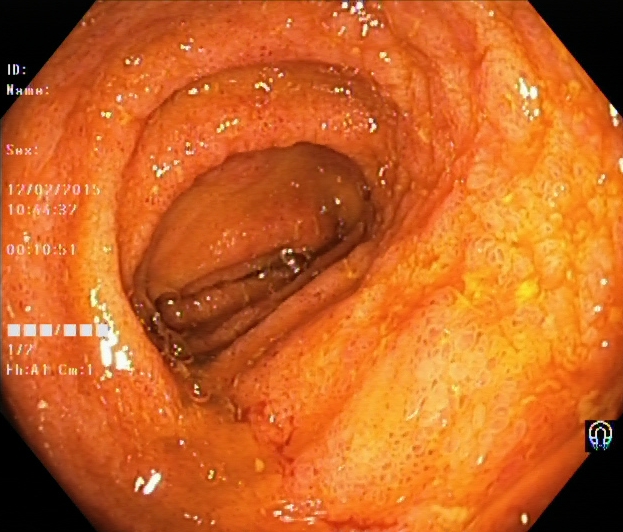modality: colonoscopy; tract: lower GI tract; finding: terminal ileum